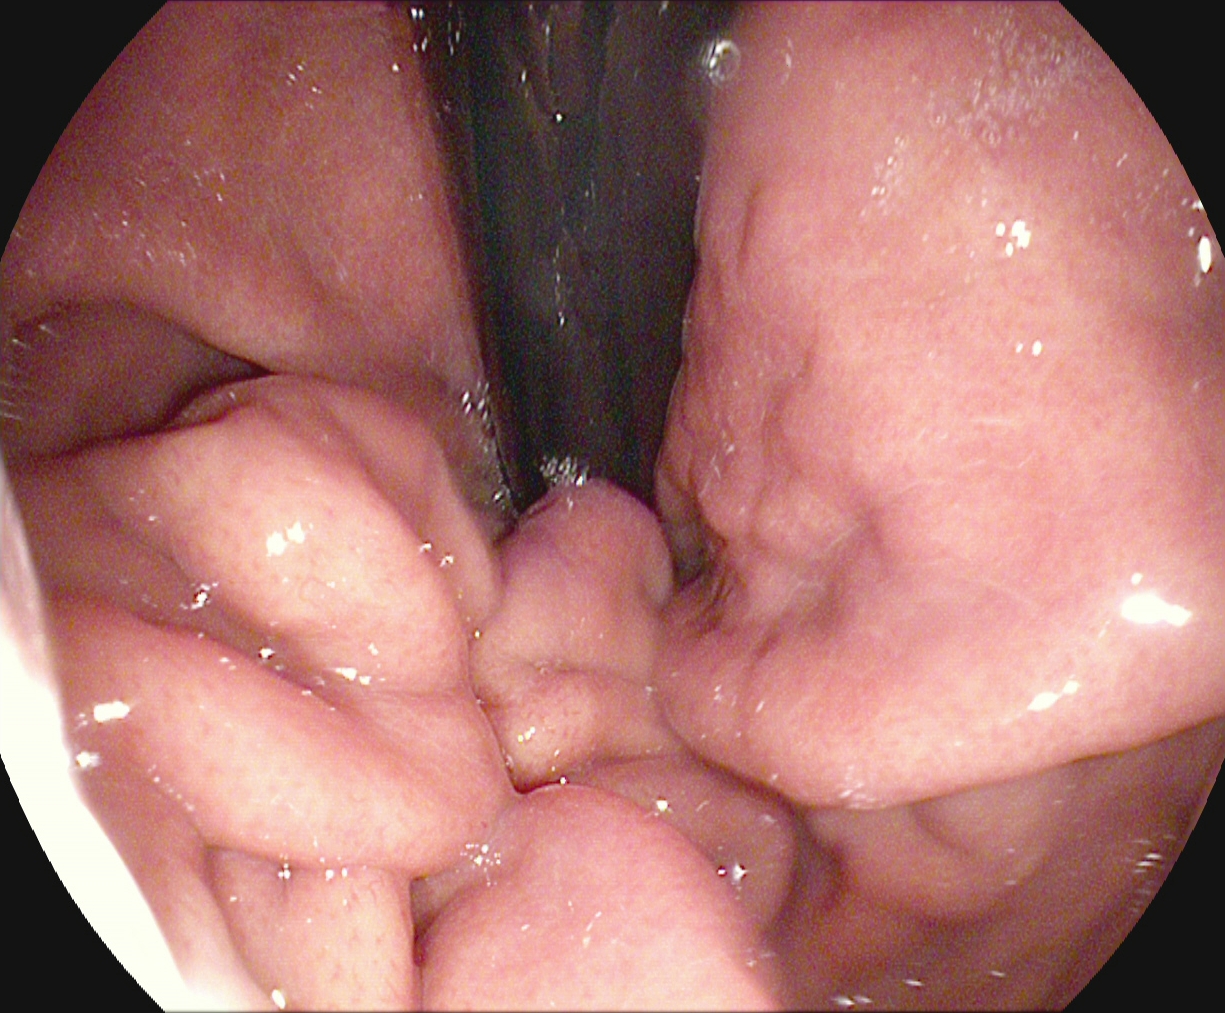stomach in retroflexion.